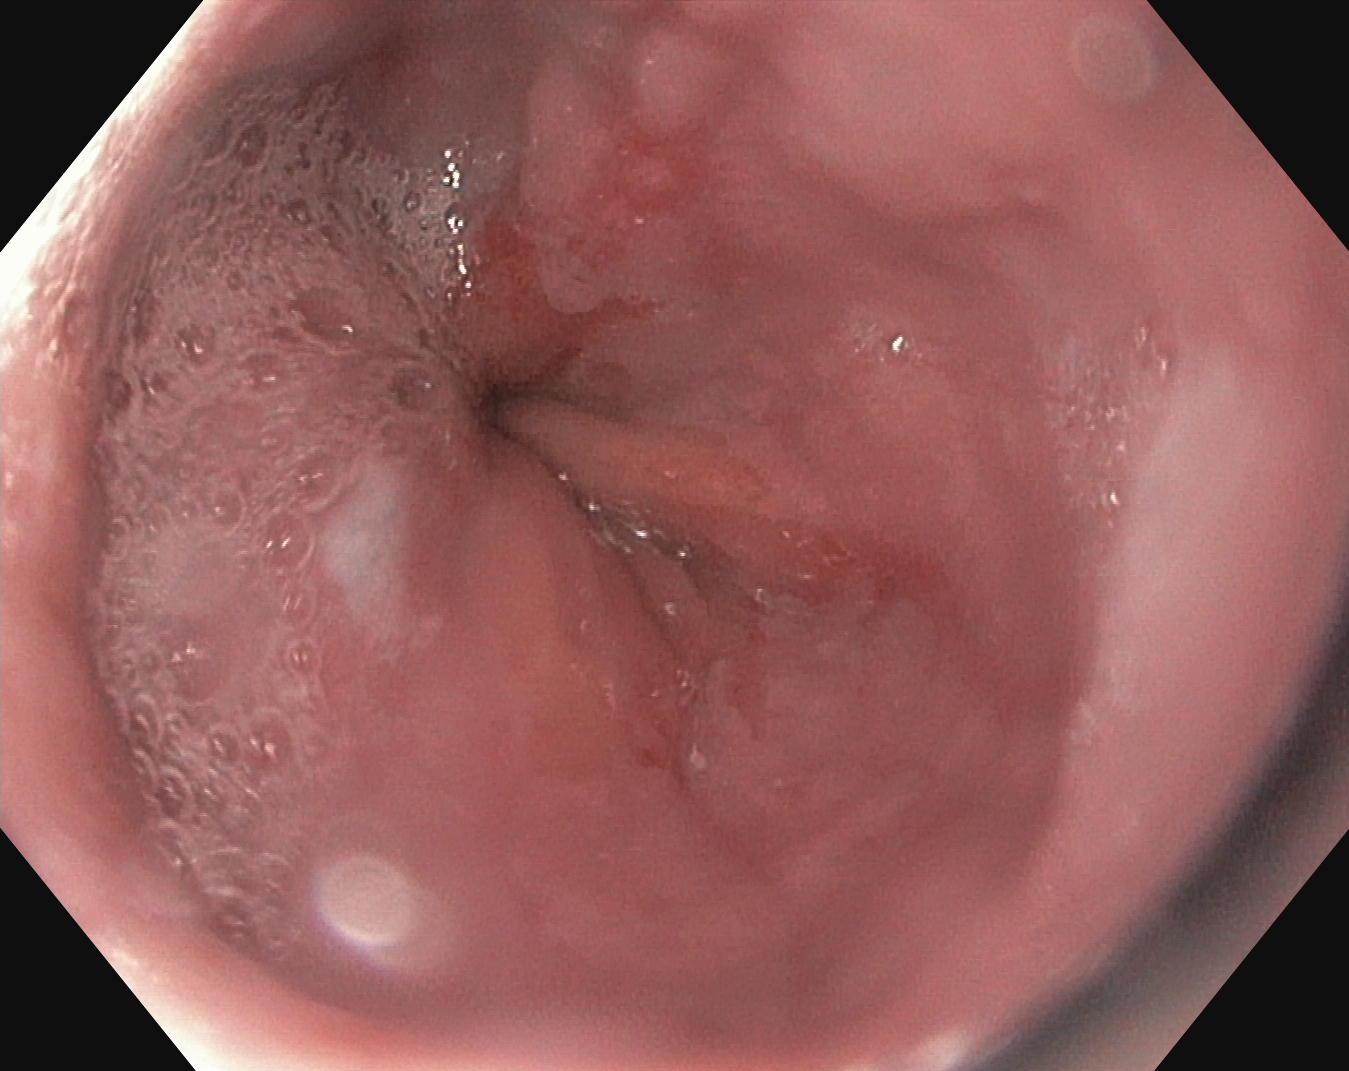Reflux esophagitis, LA grade A.